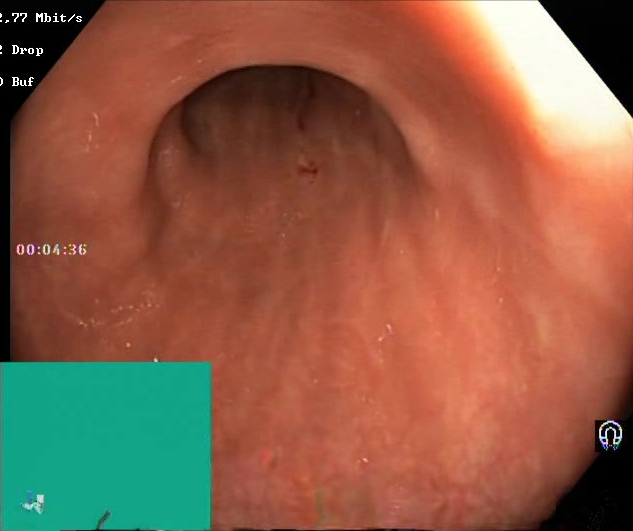Lower gastrointestinal endoscopy — BBPS score 2–3 (adequate preparation).